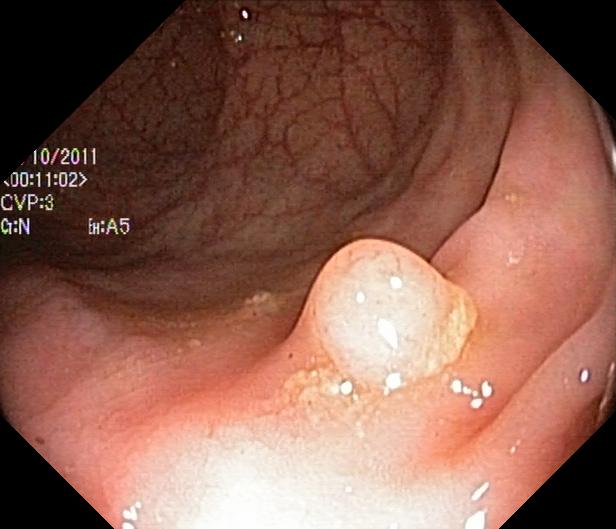modality: colonoscopy
tract: lower GI tract
category: pathological finding
finding: colorectal polyp(s)